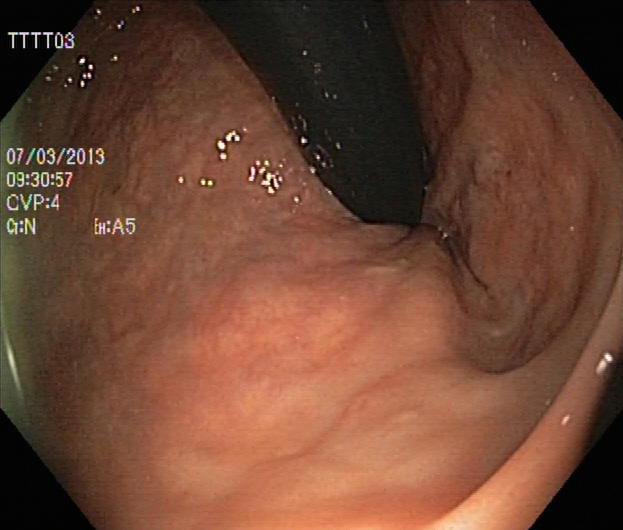Lower gastrointestinal endoscopy — rectum in retroflexion.